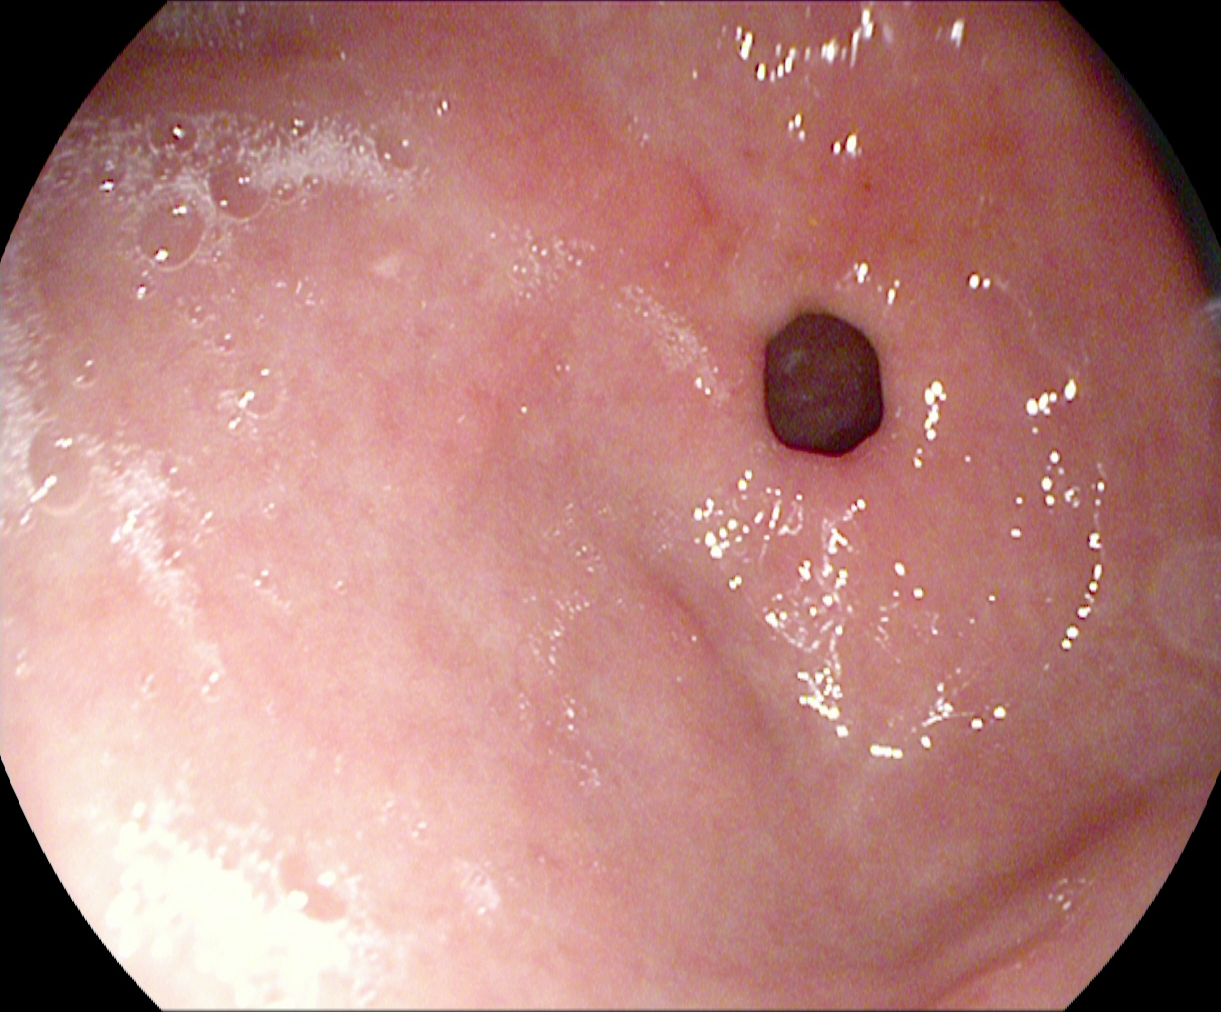This endoscopy frame of the upper GI tract shows pylorus.